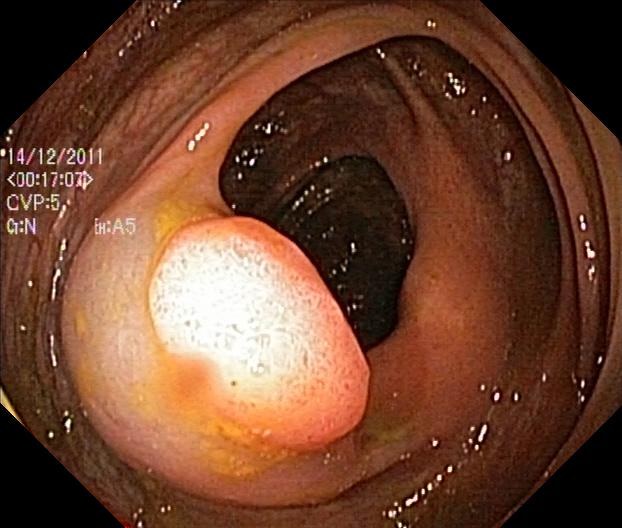Colorectal polyp(s).